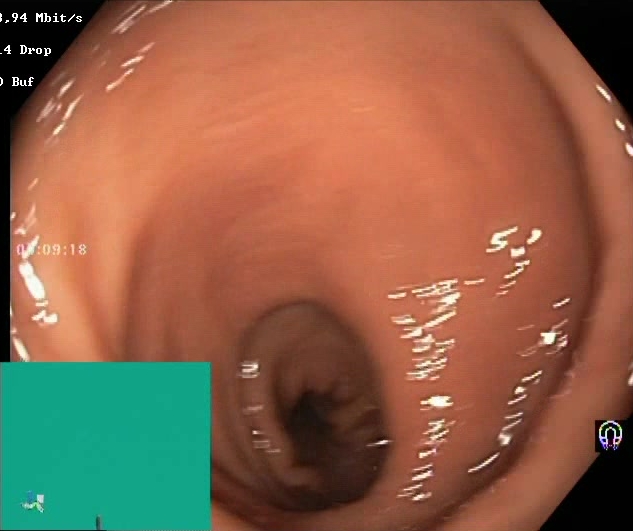{"modality": "lower gastrointestinal endoscopy", "tract": "lower GI tract", "finding": "Boston Bowel Preparation Scale score 2\u20133 (adequate preparation)"}